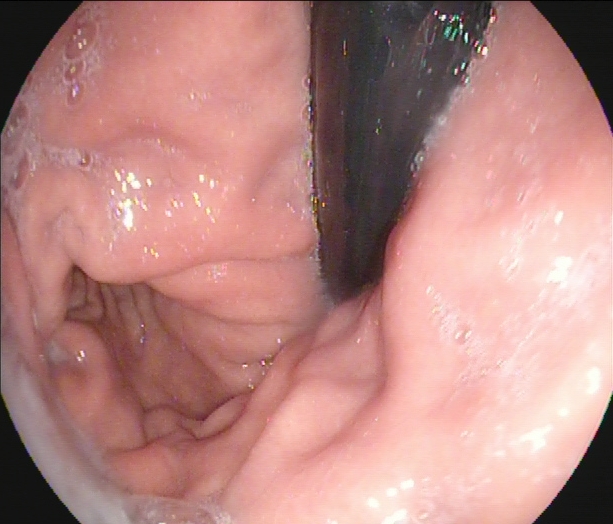Stomach in retroflexion.